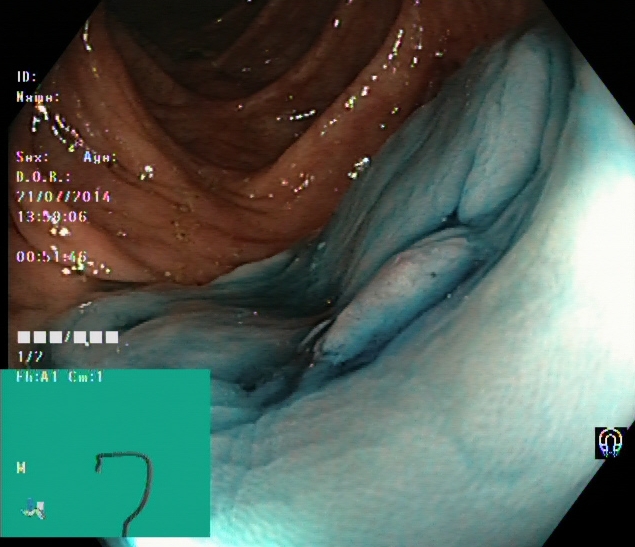Endoscopic frame of the lower GI tract showing dyed and lifted polyp (pre-resection).